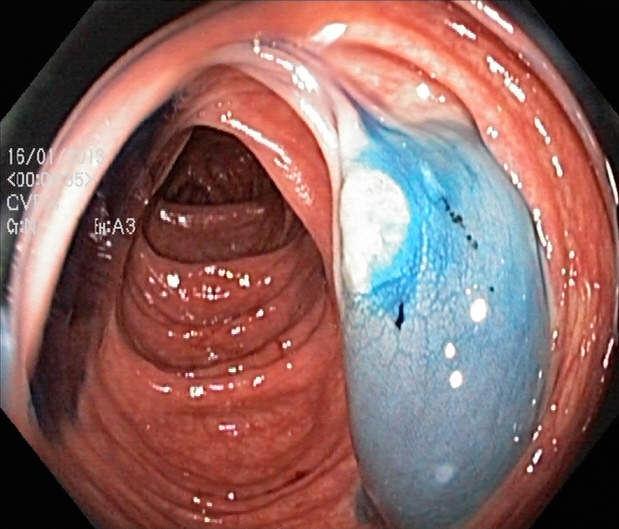Endoscopic image of the lower GI tract showing dyed and lifted polyp (pre-resection).